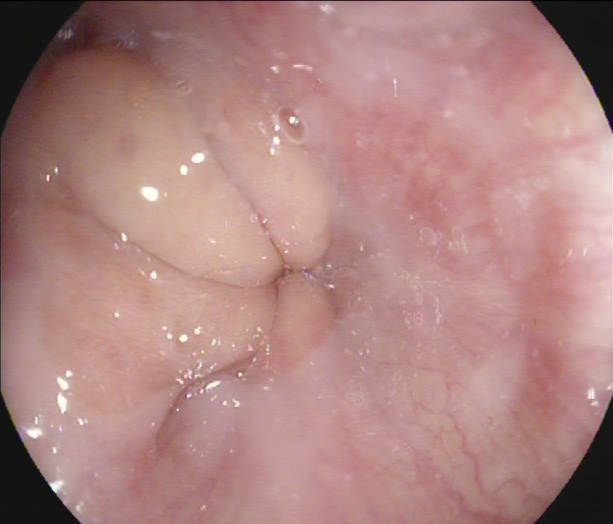Esophagogastroduodenoscopy — Z-line (gastroesophageal junction).